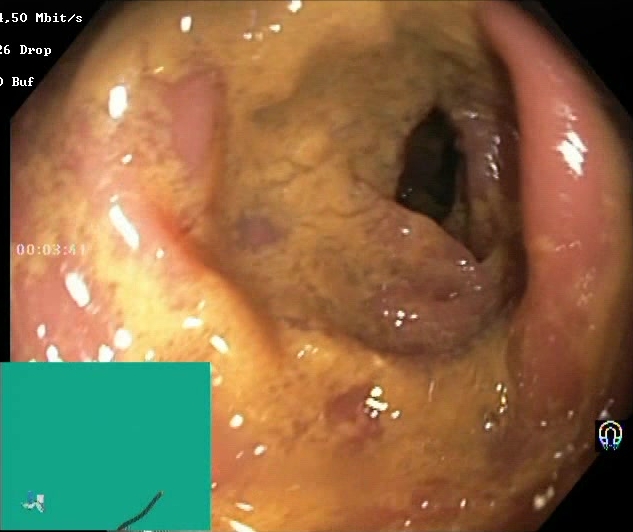{"modality": "colonoscopy", "tract": "lower GI tract", "category": "mucosal-view quality", "finding": "BBPS score 0\u20131 (inadequate preparation)"}